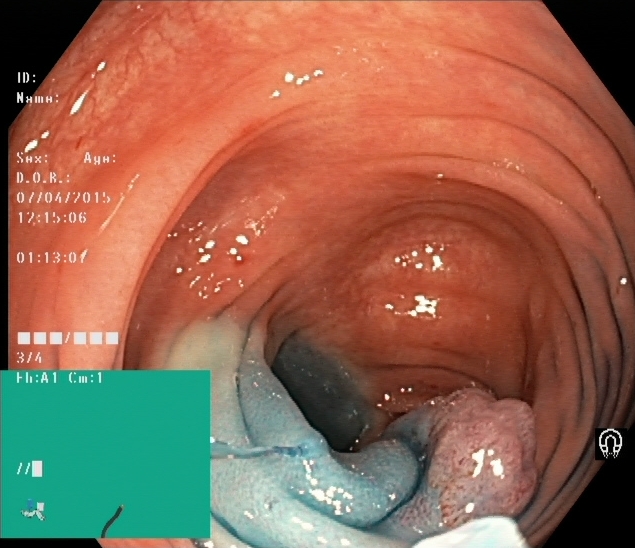This endoscopy frame shows dyed and lifted polyp (pre-resection).